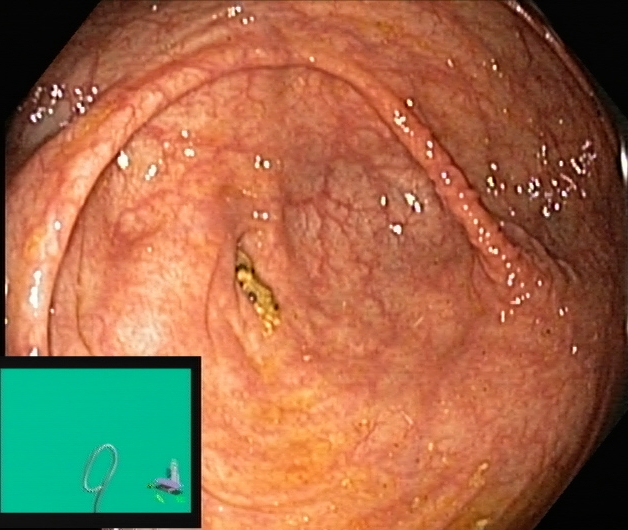Colonoscopy. Finding: cecum.